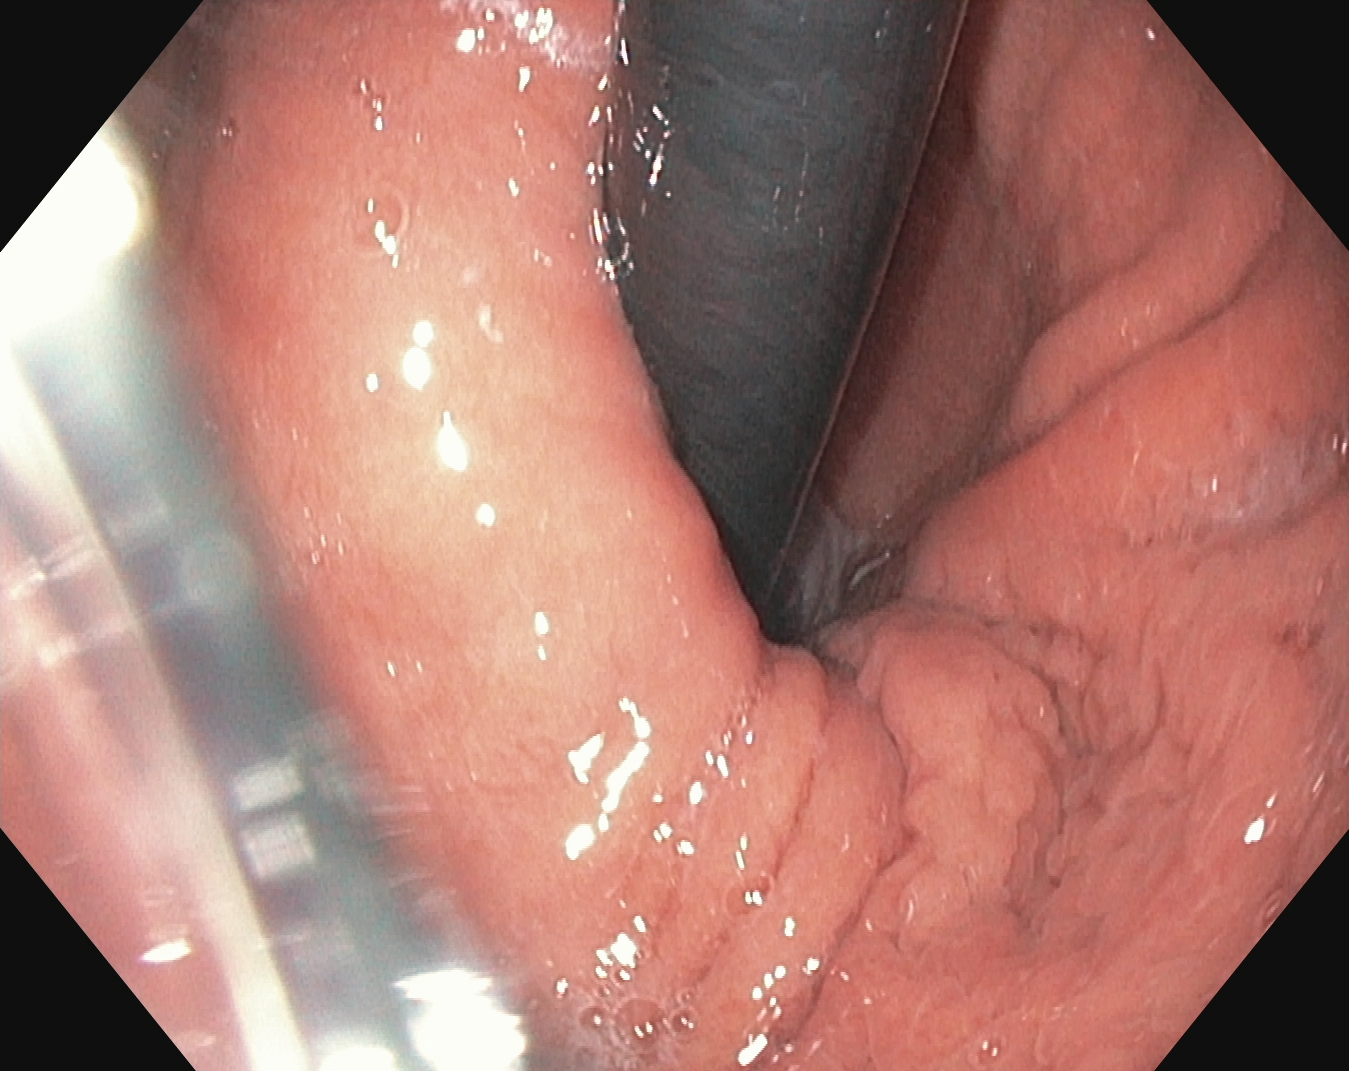Upper-GI endoscopy — stomach in retroflexion.